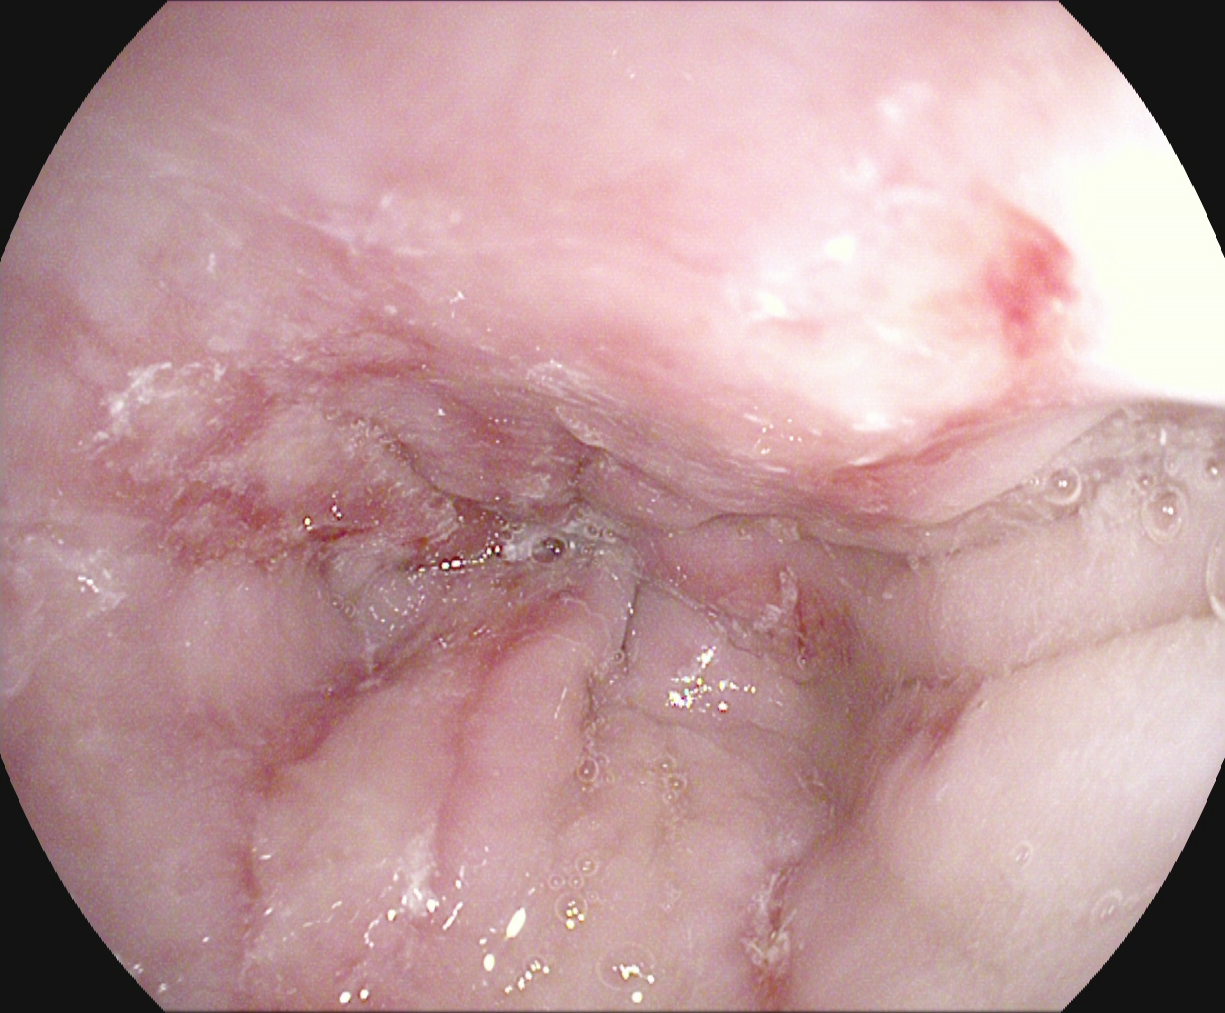{"modality": "gastroscopy", "category": "pathological finding", "finding": "reflux esophagitis, Los Angeles grade B\u2013D"}